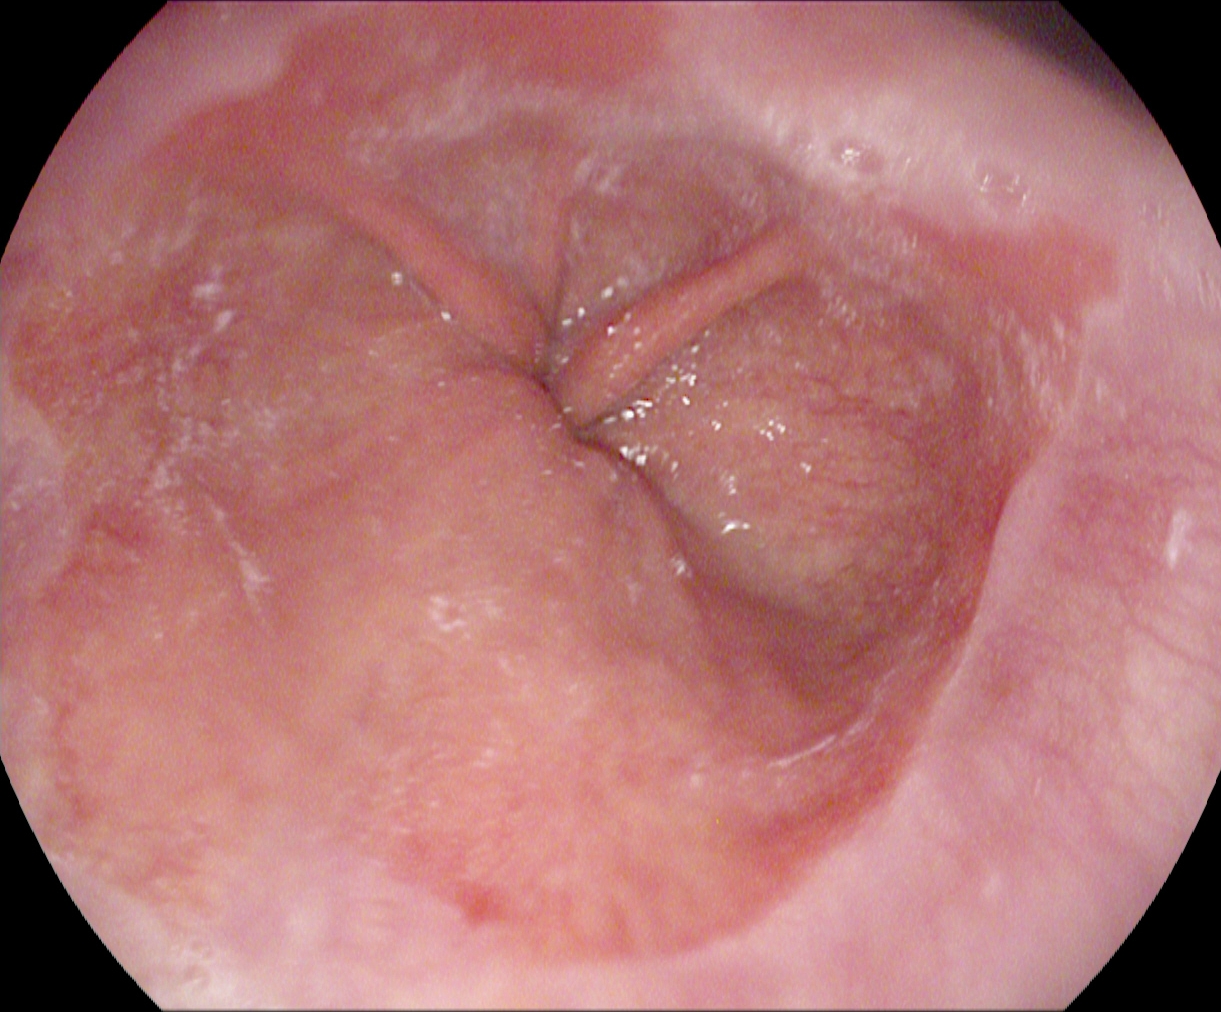Gastroscopy. Tract: upper GI tract. Finding: Barrett's esophagus.